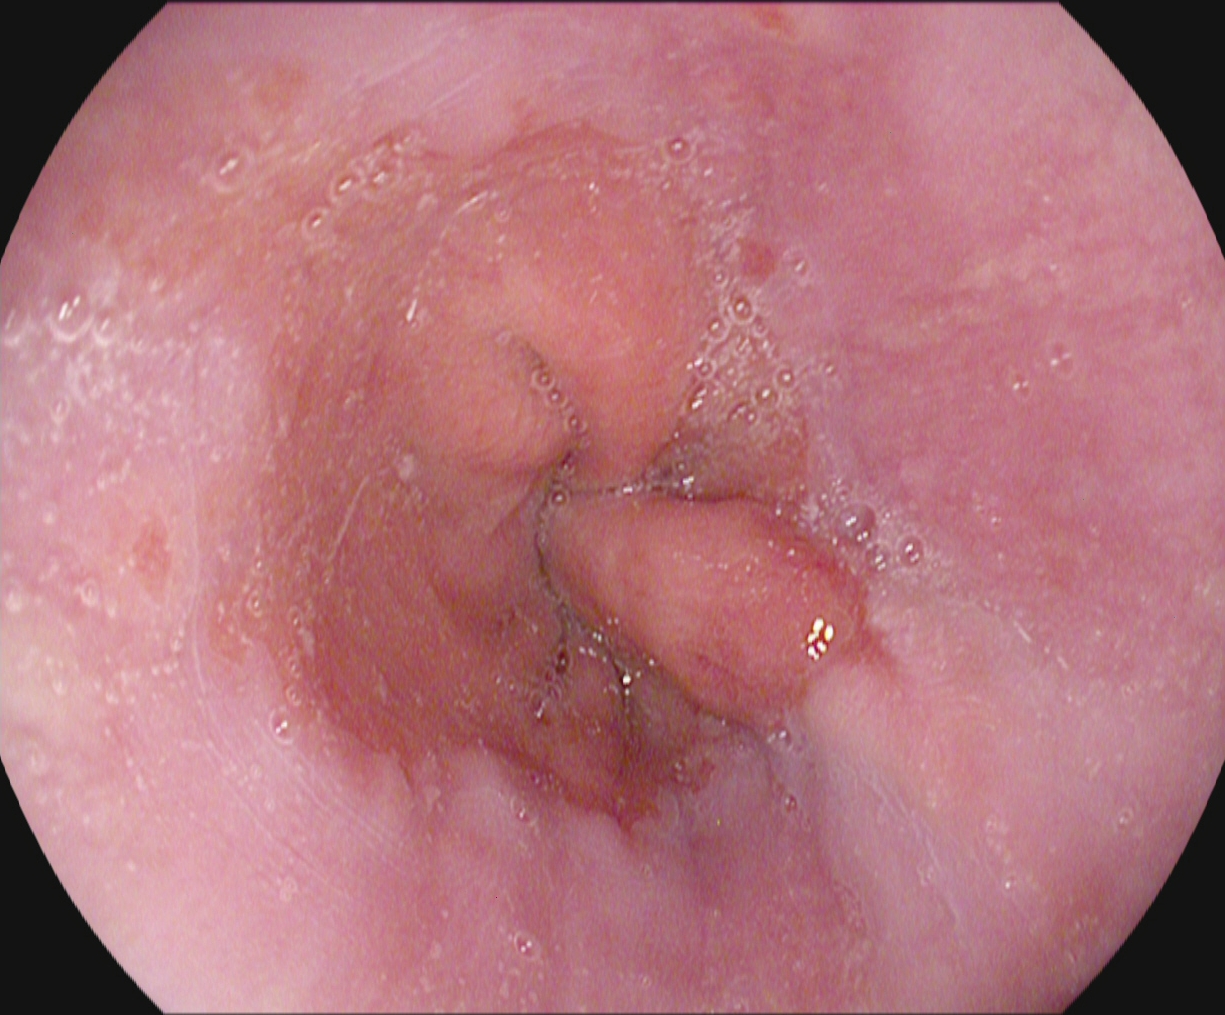Gastroscopy — reflux esophagitis, Los Angeles grade A.